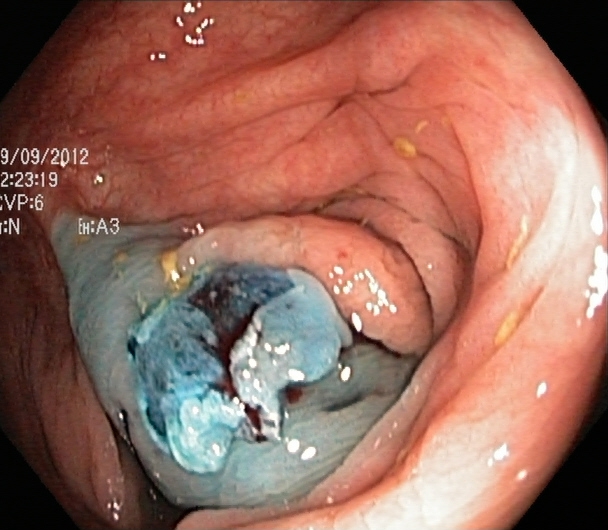{"modality": "lower gastrointestinal endoscopy", "finding": "dyed resection margins (post-polypectomy)"}